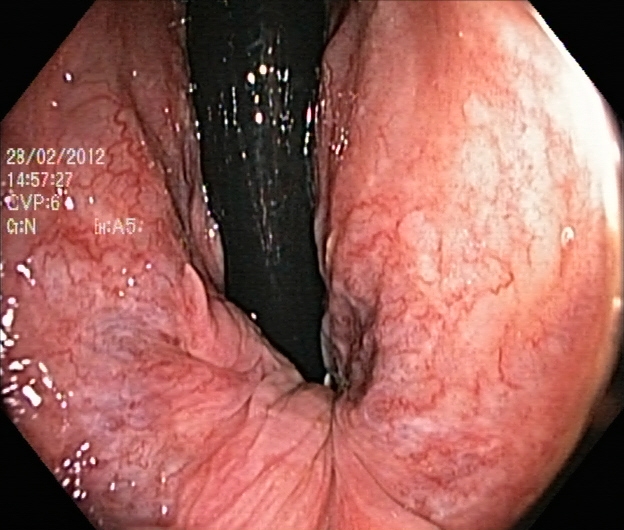{"modality": "lower gastrointestinal endoscopy", "finding": "rectum in retroflexion"}